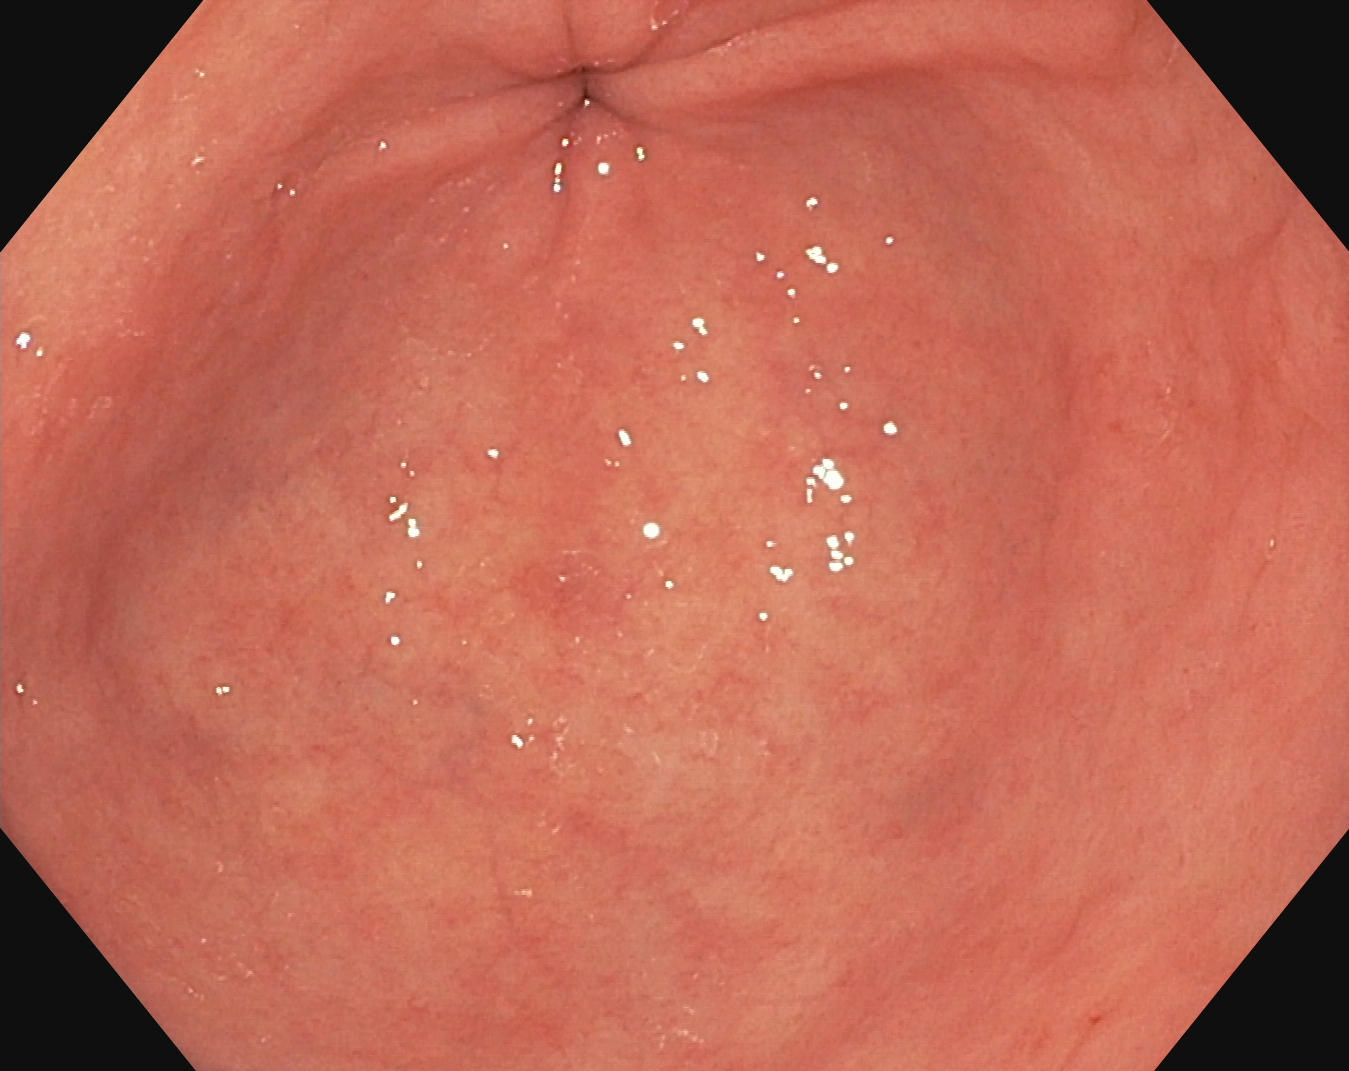PROCEDURE: Gastroscopy.
FINDINGS: Pylorus.